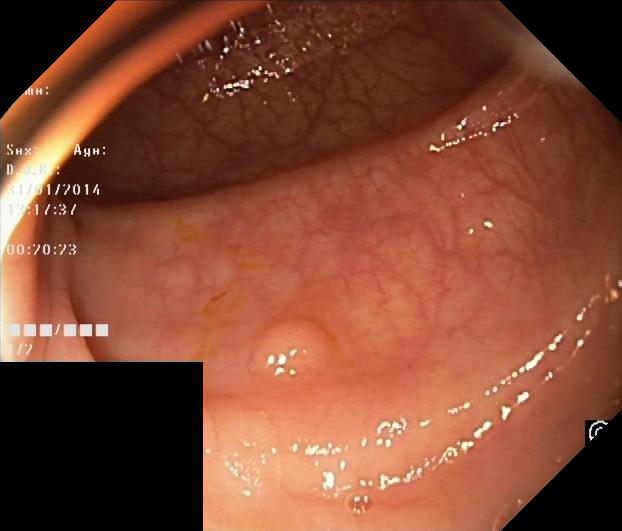PROCEDURE: Lower-GI endoscopy.
CATEGORY: Pathological finding.
FINDINGS: Colorectal polyp(s).